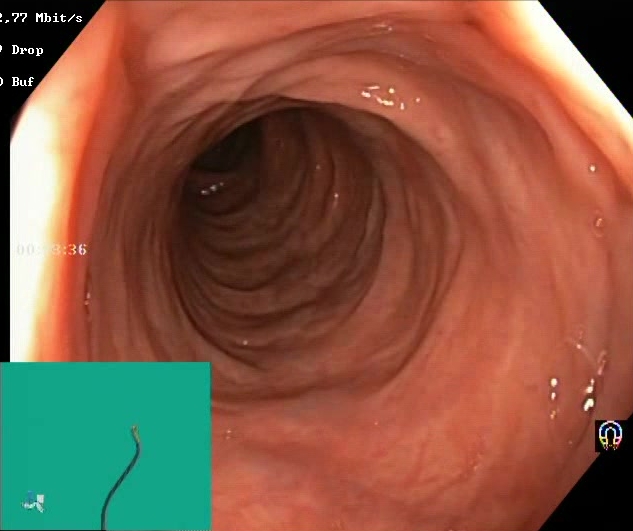modality: lower-GI endoscopy; category: mucosal-view quality; finding: Boston Bowel Preparation Scale score 2–3 (adequate preparation)